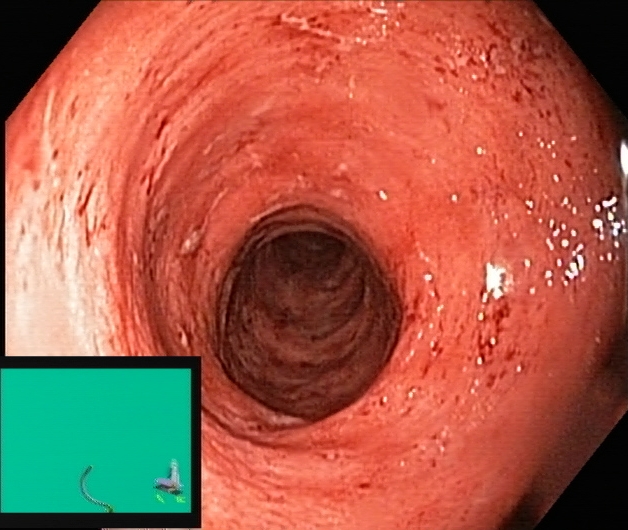PROCEDURE: Lower-GI endoscopy.
FINDINGS: Ulcerative colitis, Mayo endoscopic subscore 2.